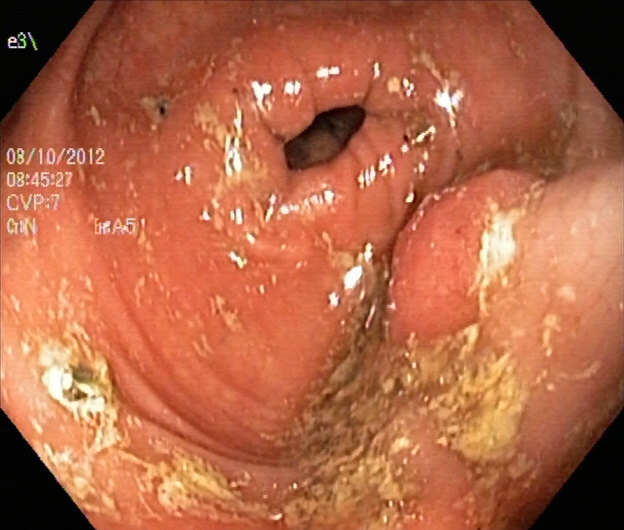{"modality": "lower gastrointestinal endoscopy", "finding": "ulcerative colitis, Mayo endoscopic subscore 1"}